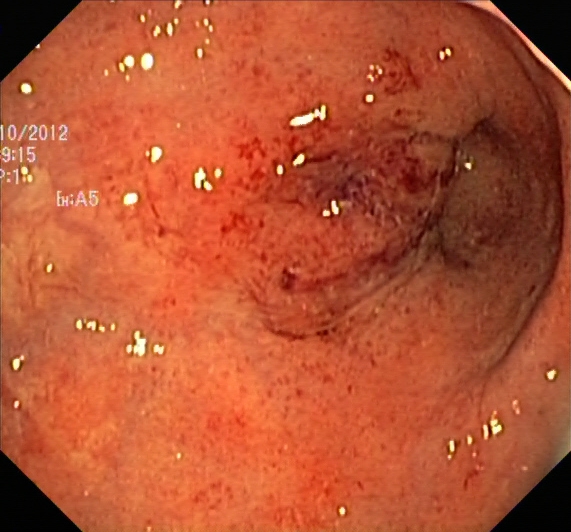Lower gastrointestinal endoscopy. Tract: lower GI tract. Finding: ulcerative colitis, Mayo endoscopic subscore 2.